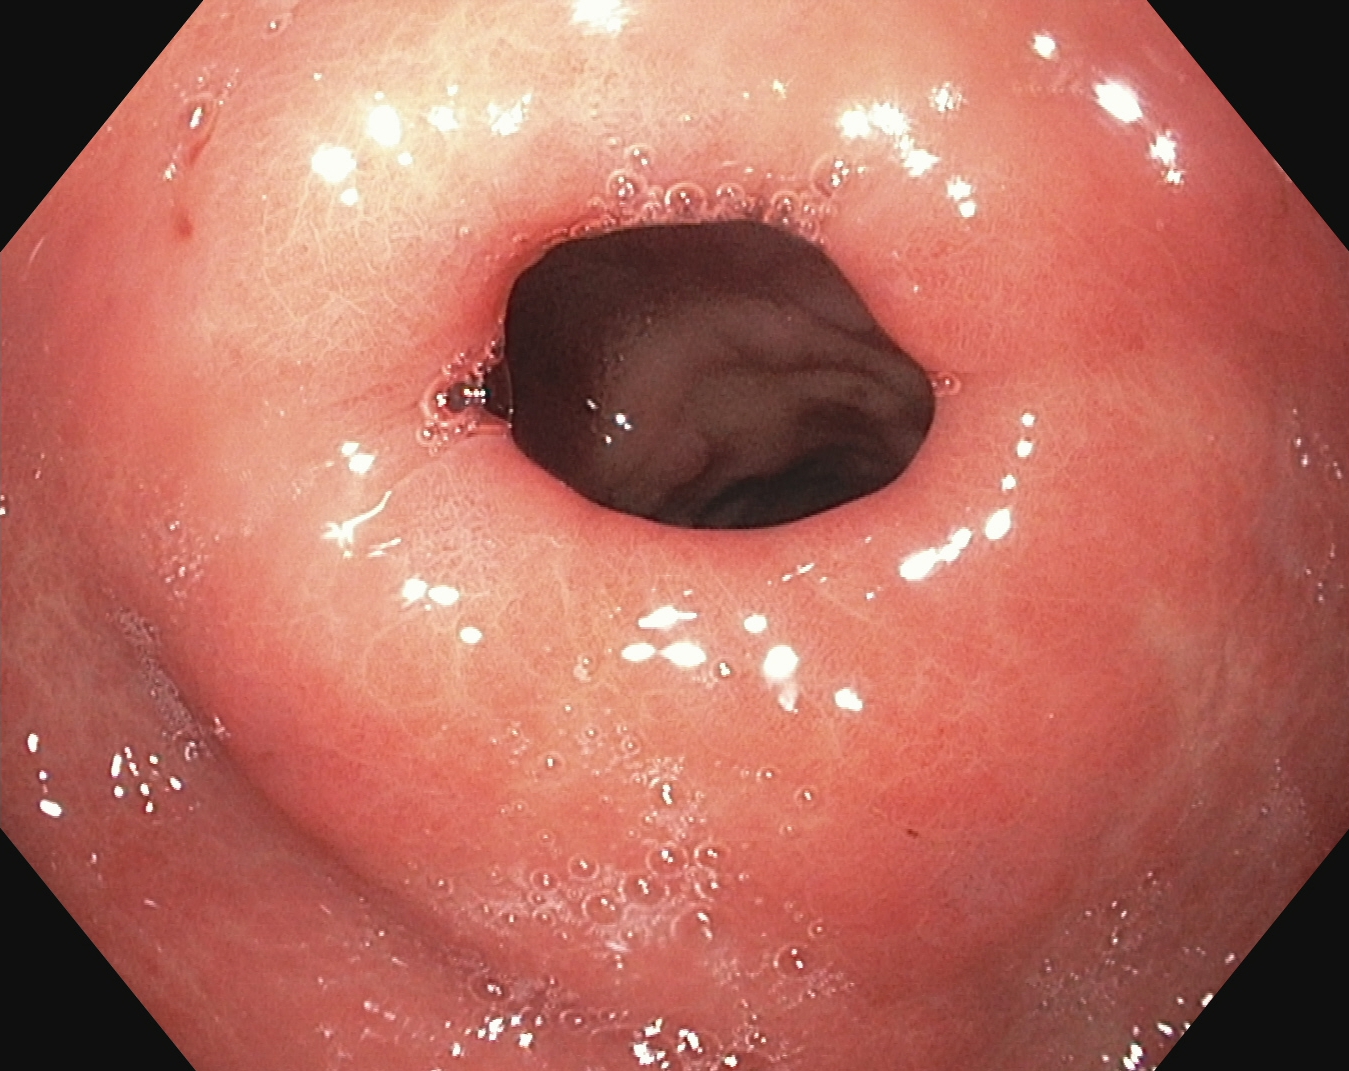This endoscopy frame of the upper GI tract shows pylorus.